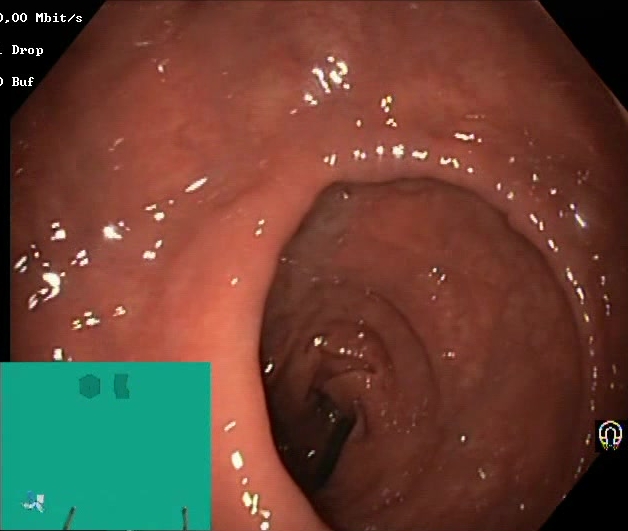Colonoscopy image showing Boston Bowel Preparation Scale score 2–3 (adequate preparation).